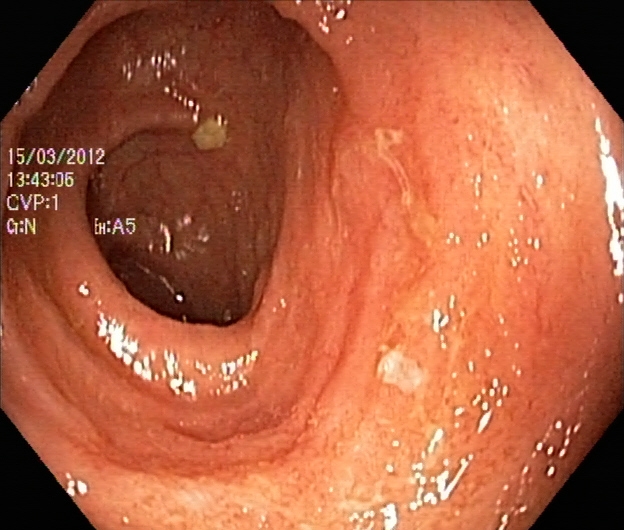PROCEDURE: Colonoscopy.
FINDINGS: UC, Mayo endoscopic subscore 2.